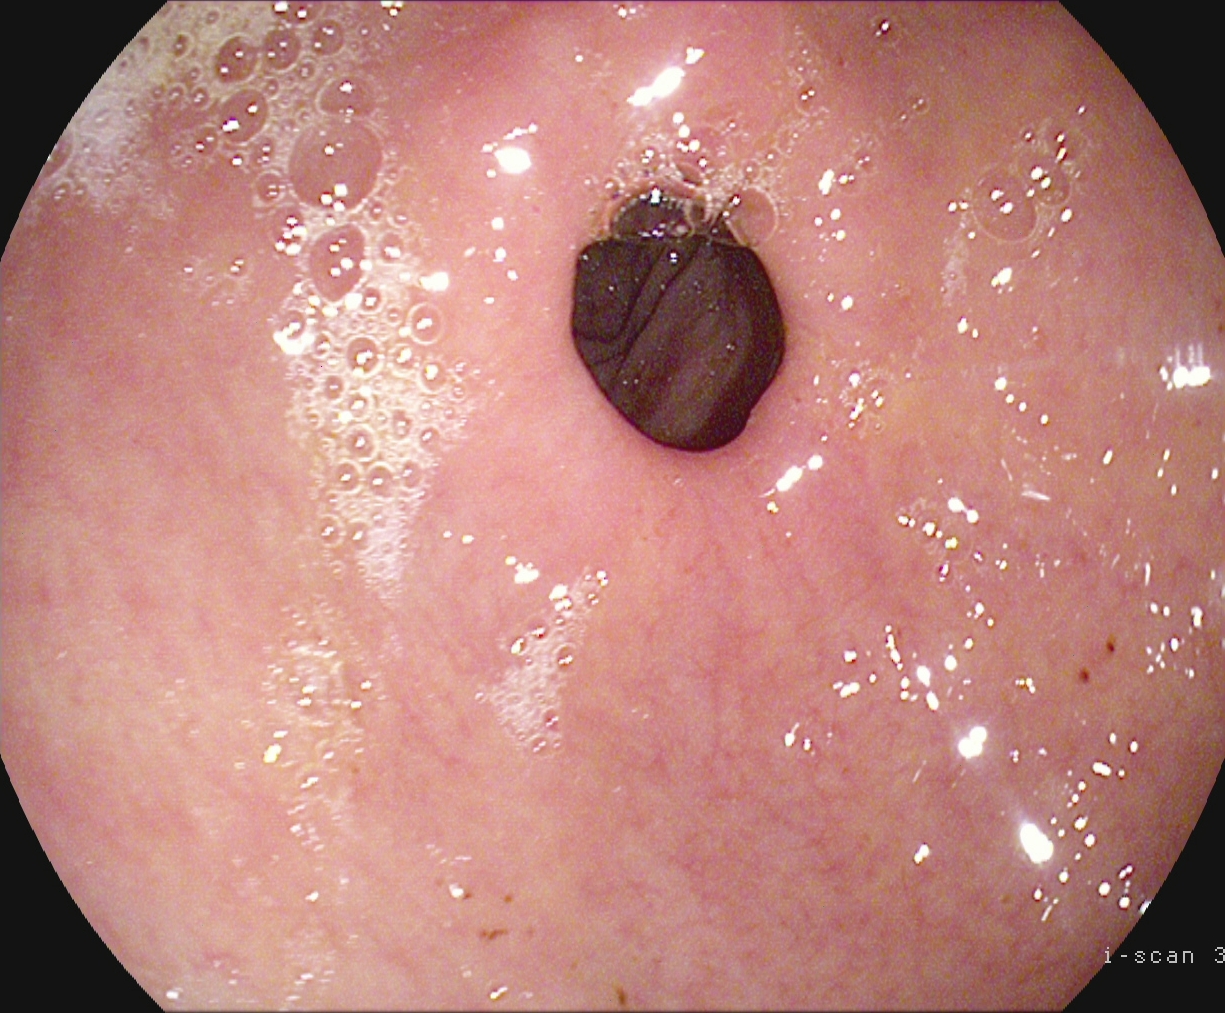{"modality": "gastroscopy", "tract": "upper GI tract", "finding": "pylorus"}